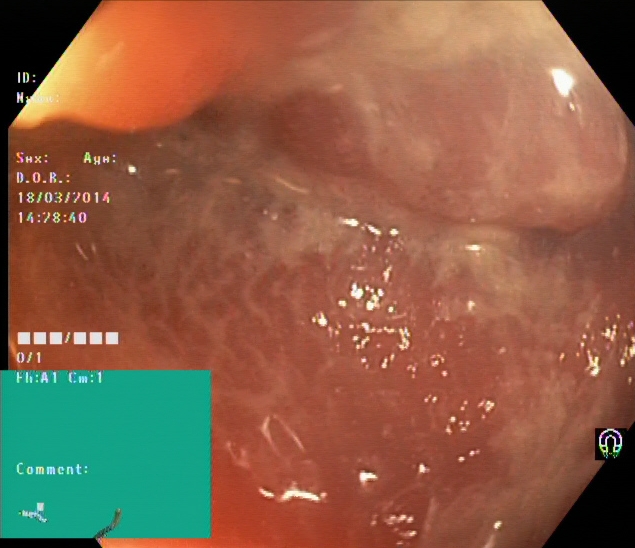Endoscopy image showing ulcerative colitis, Mayo endoscopic subscore 2.